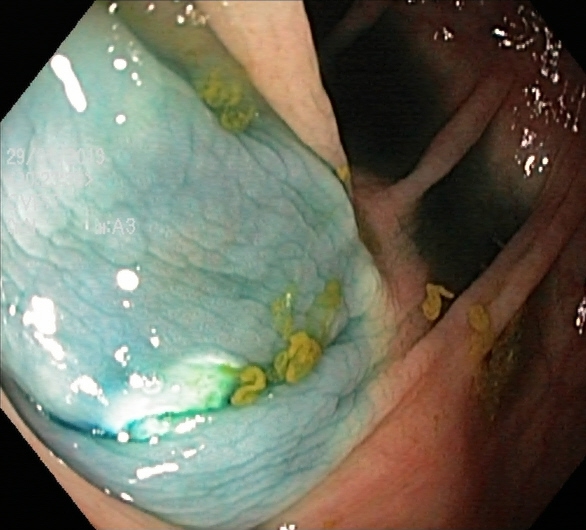{"modality": "colonoscopy", "category": "therapeutic intervention", "finding": "dyed resection margins (post-polypectomy)"}